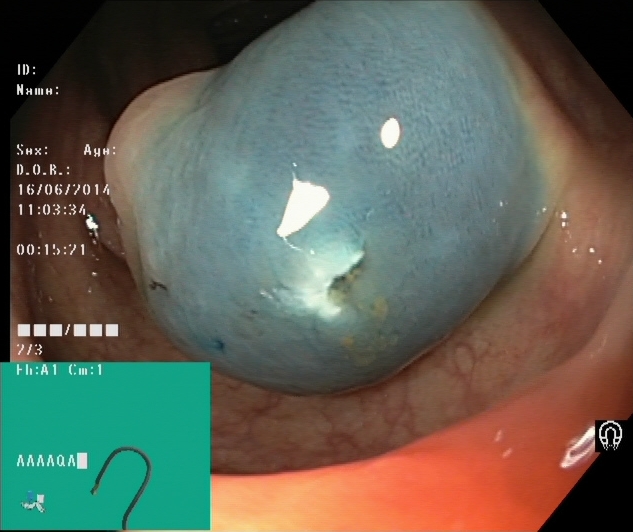modality: lower gastrointestinal endoscopy | tract: lower GI tract | finding: dyed resection margins (post-polypectomy)